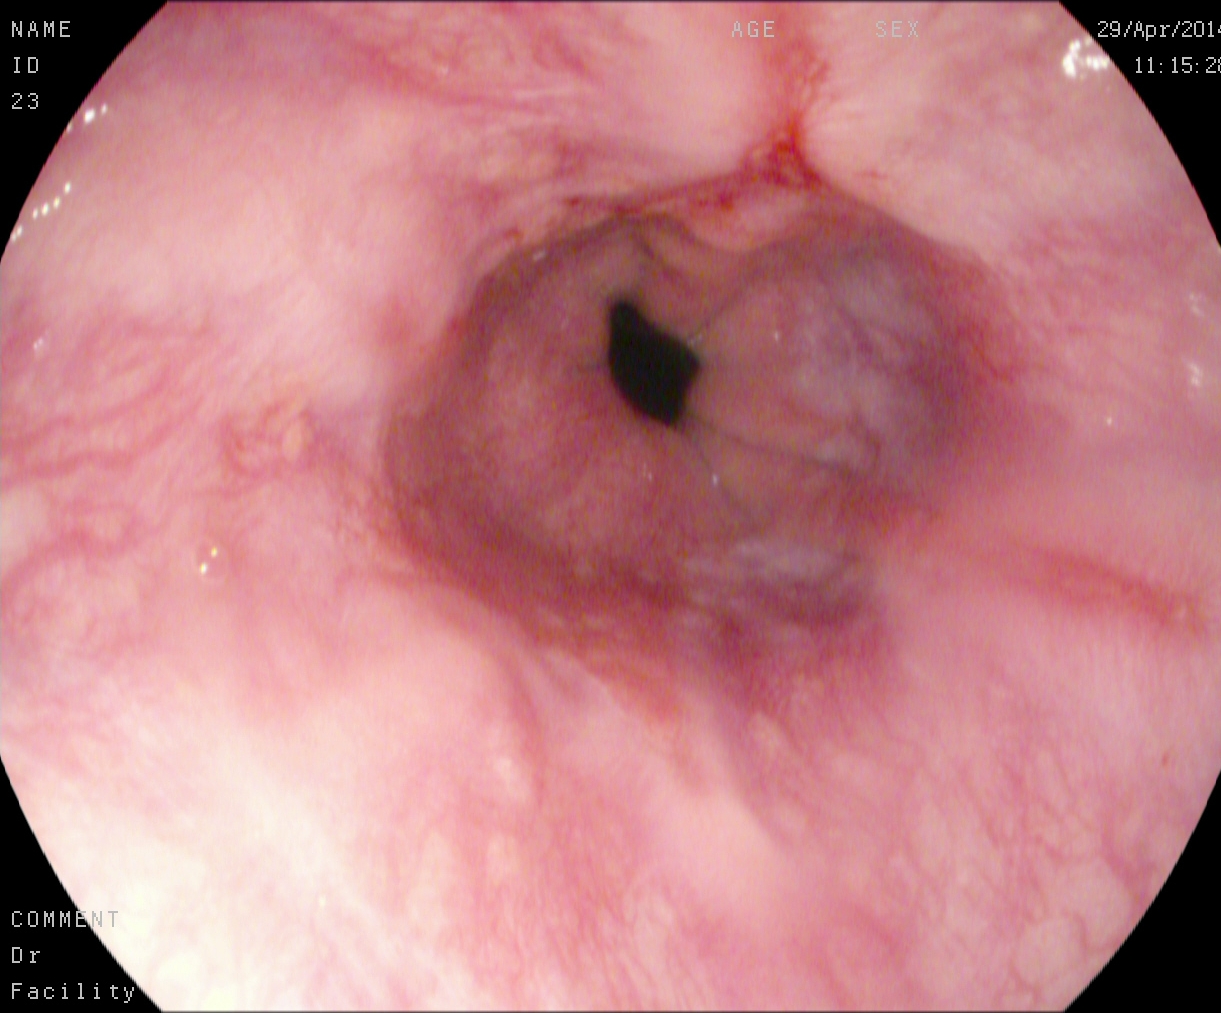PROCEDURE: Upper-GI endoscopy.
FINDINGS: Reflux esophagitis, Los Angeles grade A.